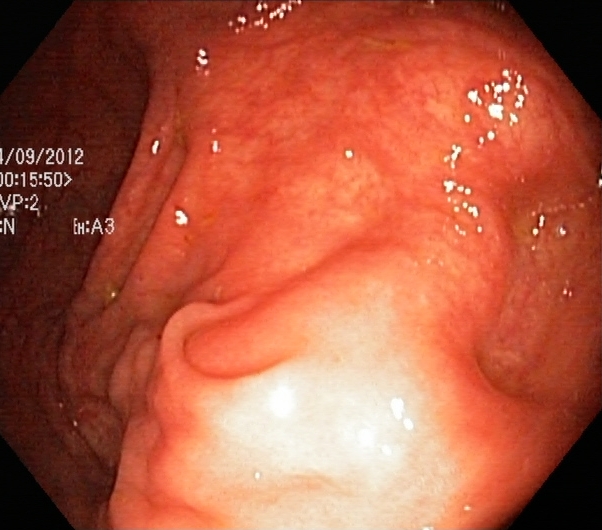modality: colonoscopy
tract: lower GI tract
finding: cecum